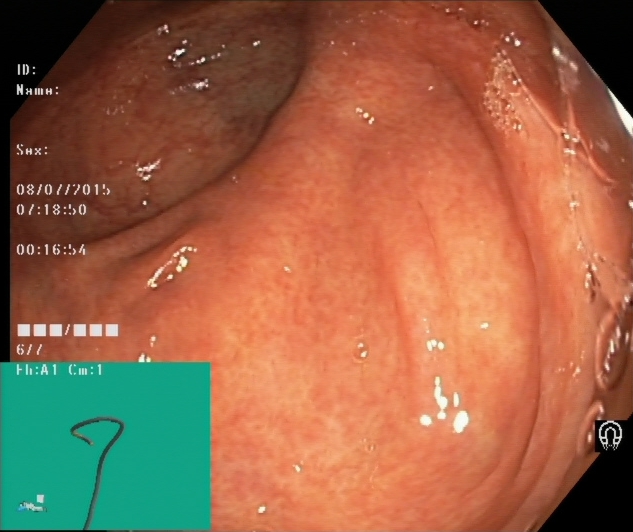{"modality": "lower-GI endoscopy", "tract": "lower GI tract", "category": "anatomical landmark", "finding": "cecum"}